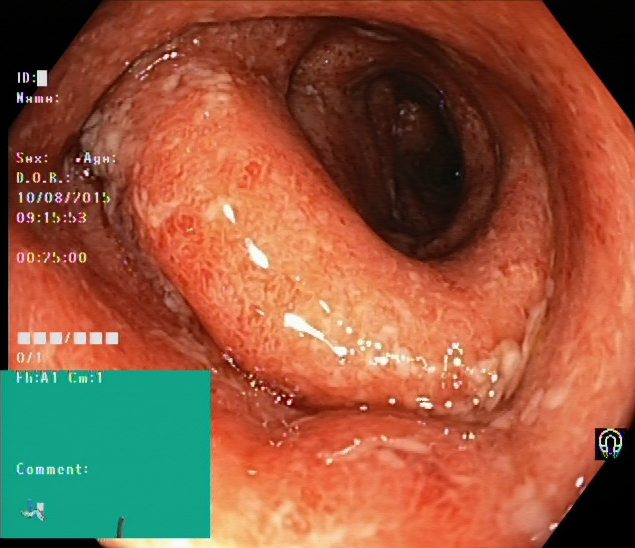{"modality": "lower-GI endoscopy", "tract": "lower GI tract", "finding": "UC, Mayo endoscopic subscore 2"}